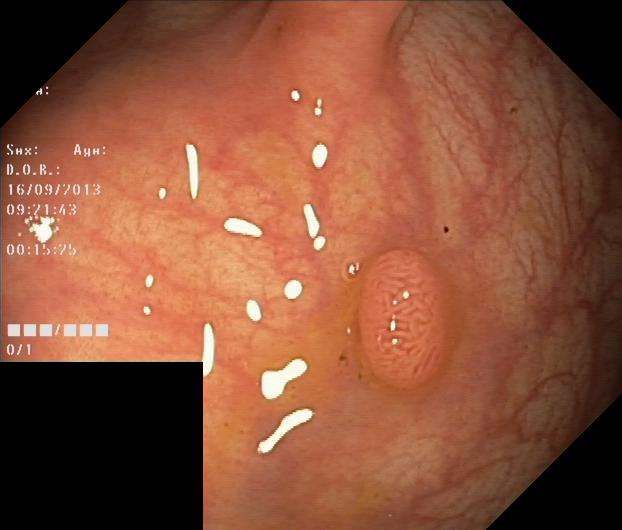modality: lower gastrointestinal endoscopy | category: pathological finding | finding: colorectal polyp(s)